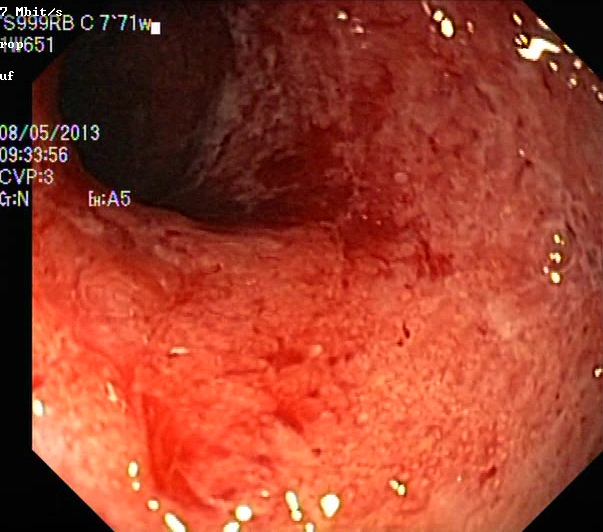modality: colonoscopy; tract: lower GI tract; category: pathological finding; finding: UC, Mayo endoscopic subscore 3